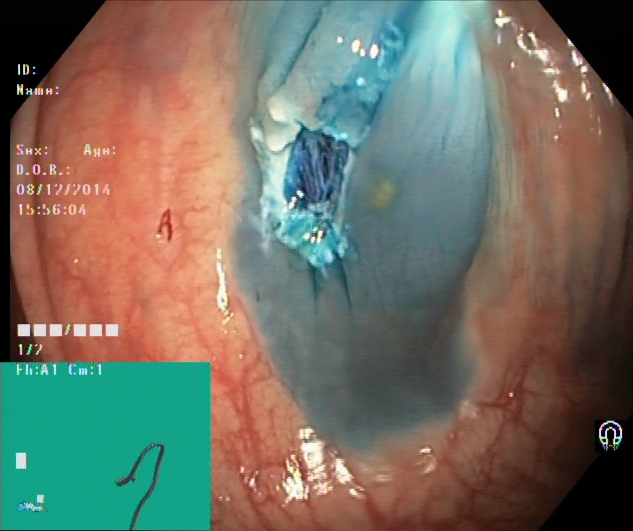Colonoscopy. Tract: lower GI tract. Therapeutic intervention. Finding: dyed resection margins (post-polypectomy).